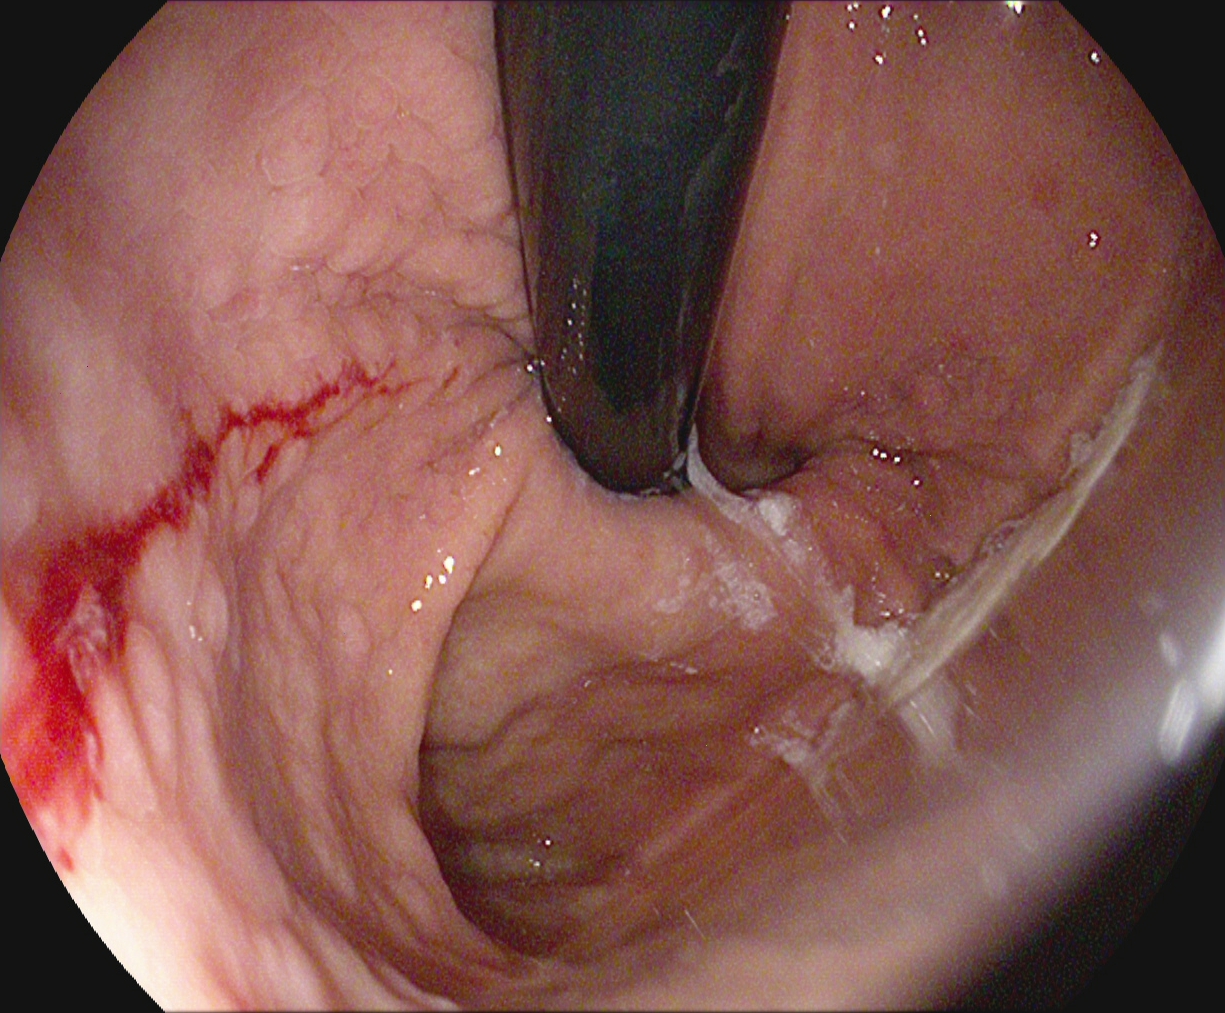PROCEDURE: Upper-GI endoscopy.
FINDINGS: Stomach in retroflexion.